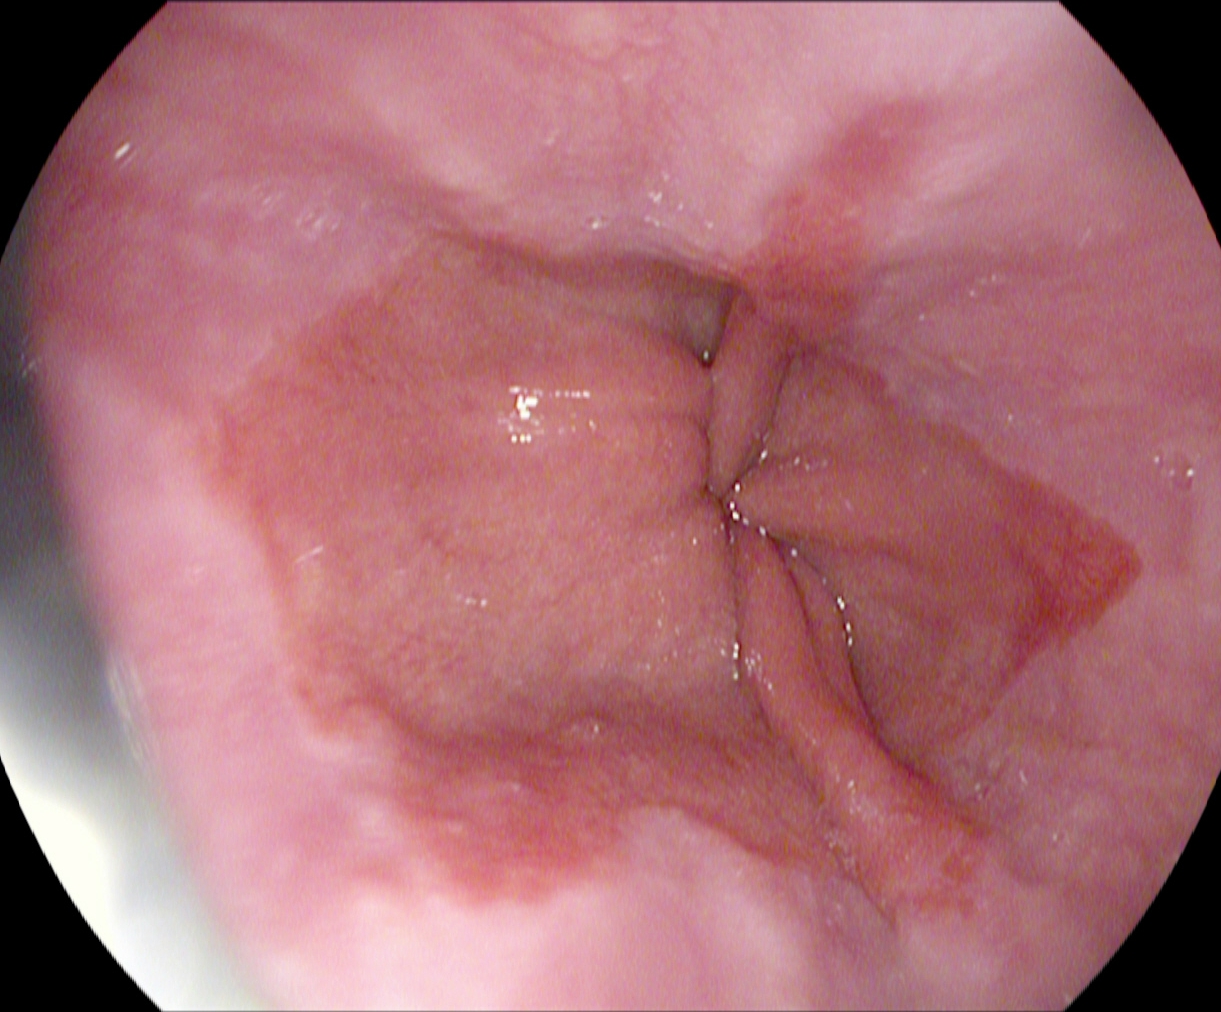{"modality": "upper-GI endoscopy", "tract": "upper GI tract", "category": "pathological finding", "finding": "reflux esophagitis, Los Angeles grade A"}